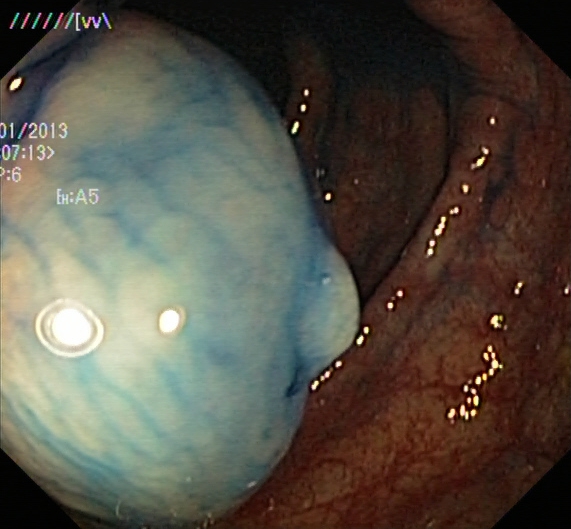This endoscopy frame of the lower GI tract shows dyed and lifted polyp (pre-resection).